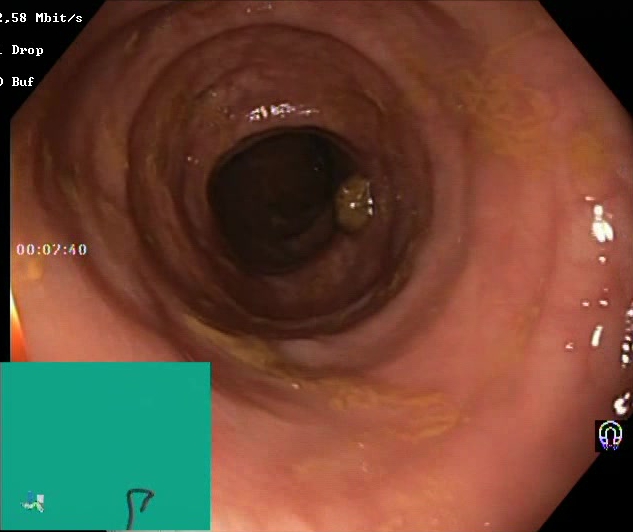GI endoscopy image showing BBPS score 2–3 (adequate preparation).